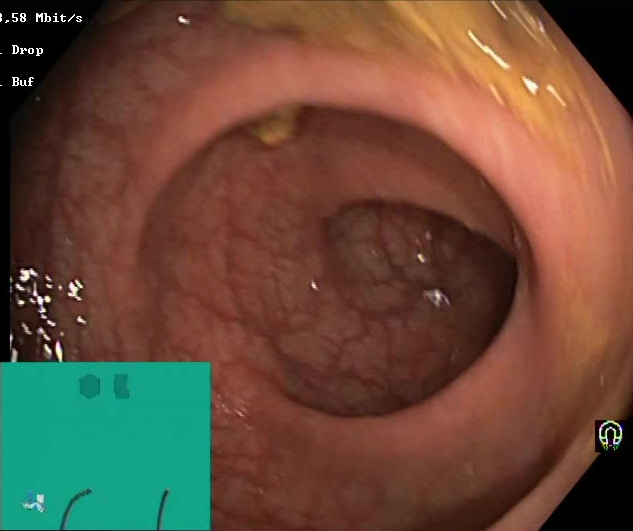Endoscopic frame of the lower GI tract showing BBPS score 2–3 (adequate preparation).